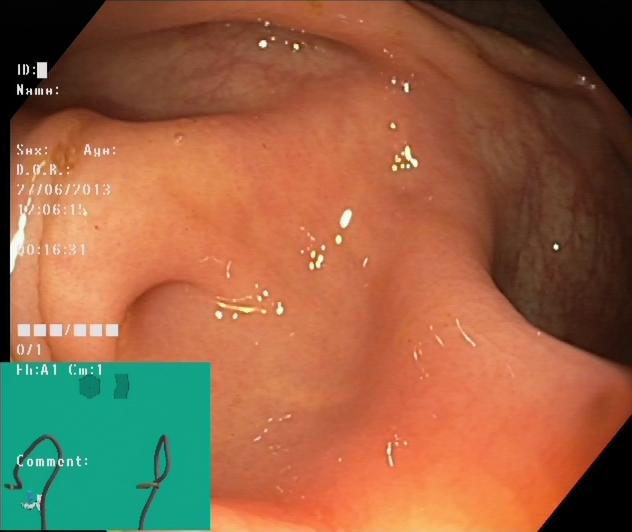{"modality": "lower-GI endoscopy", "finding": "cecum"}